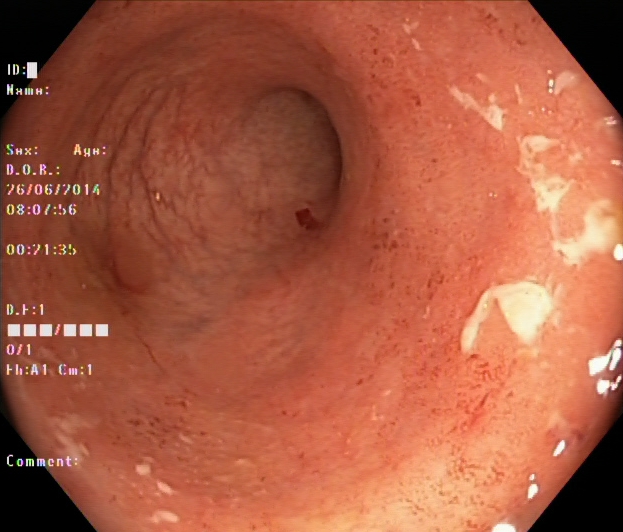Colonoscopy — ulcerative colitis, Mayo endoscopic subscore 1.